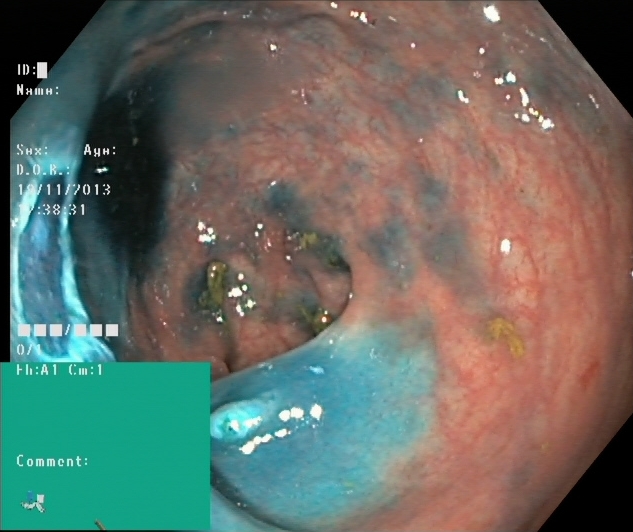This endoscopy frame of the lower GI tract shows dyed resection margins (post-polypectomy).